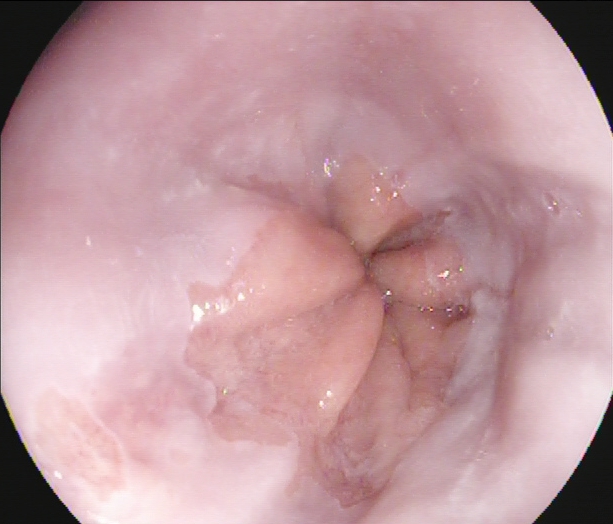Esophagogastroduodenoscopy — Z-line (gastroesophageal junction).